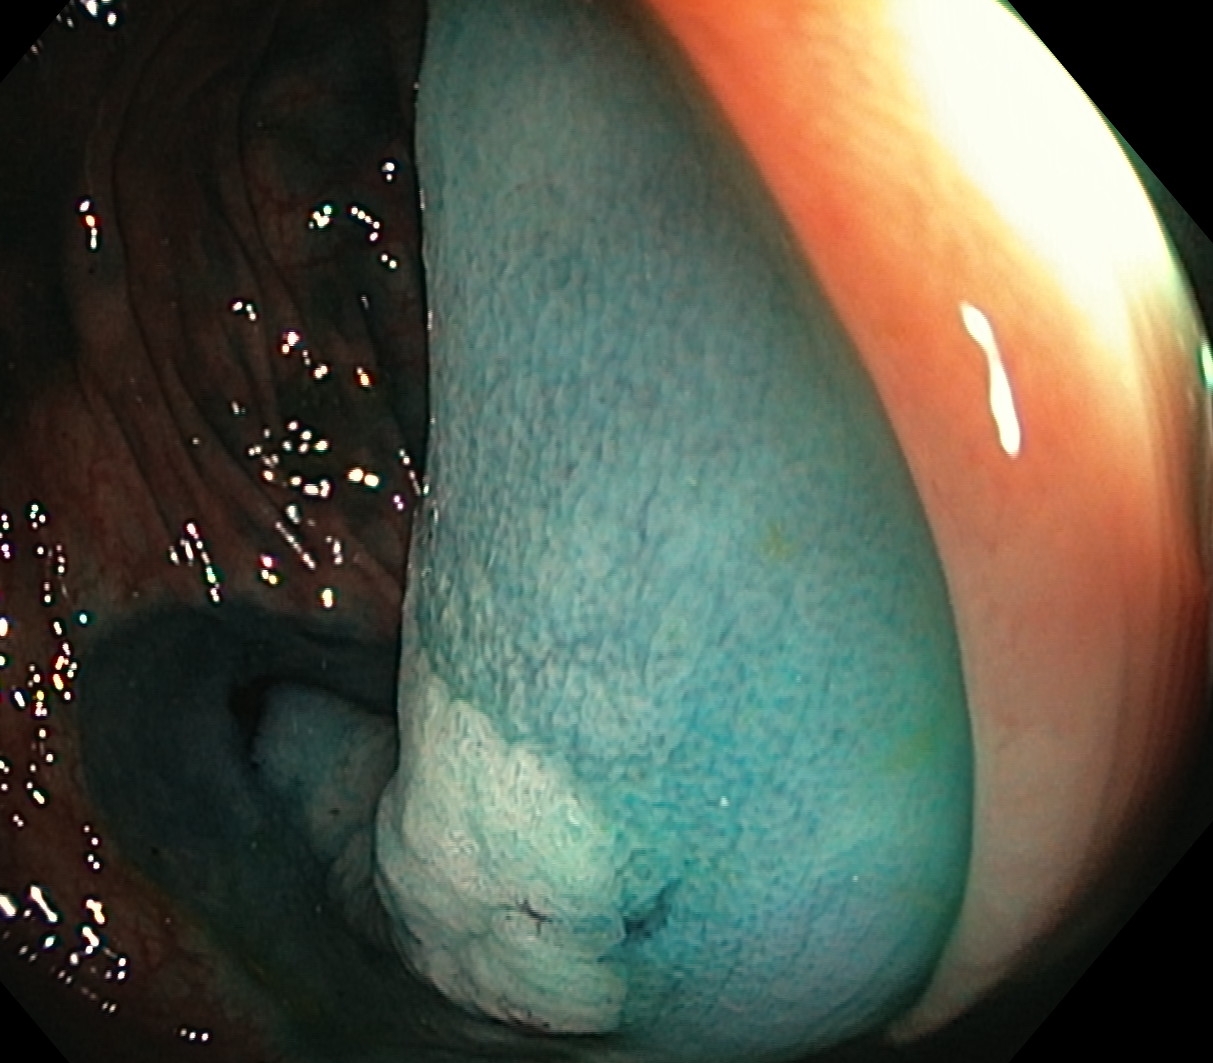Lower-GI endoscopy. Tract: lower GI tract. Therapeutic intervention. Finding: dyed and lifted polyp (pre-resection).